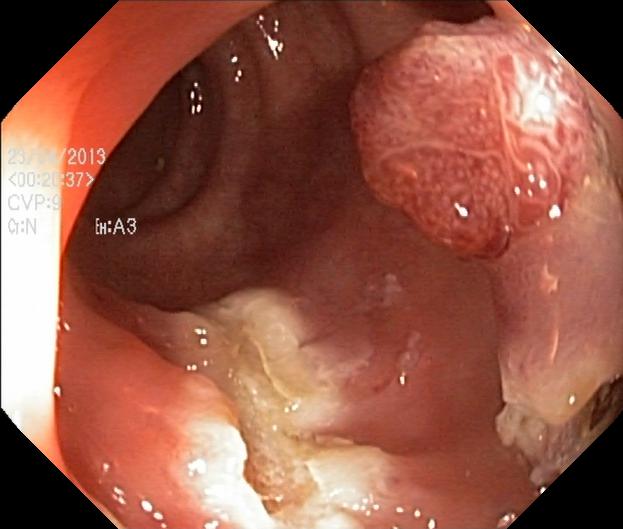PROCEDURE: Colonoscopy.
FINDINGS: Colorectal polyp(s).